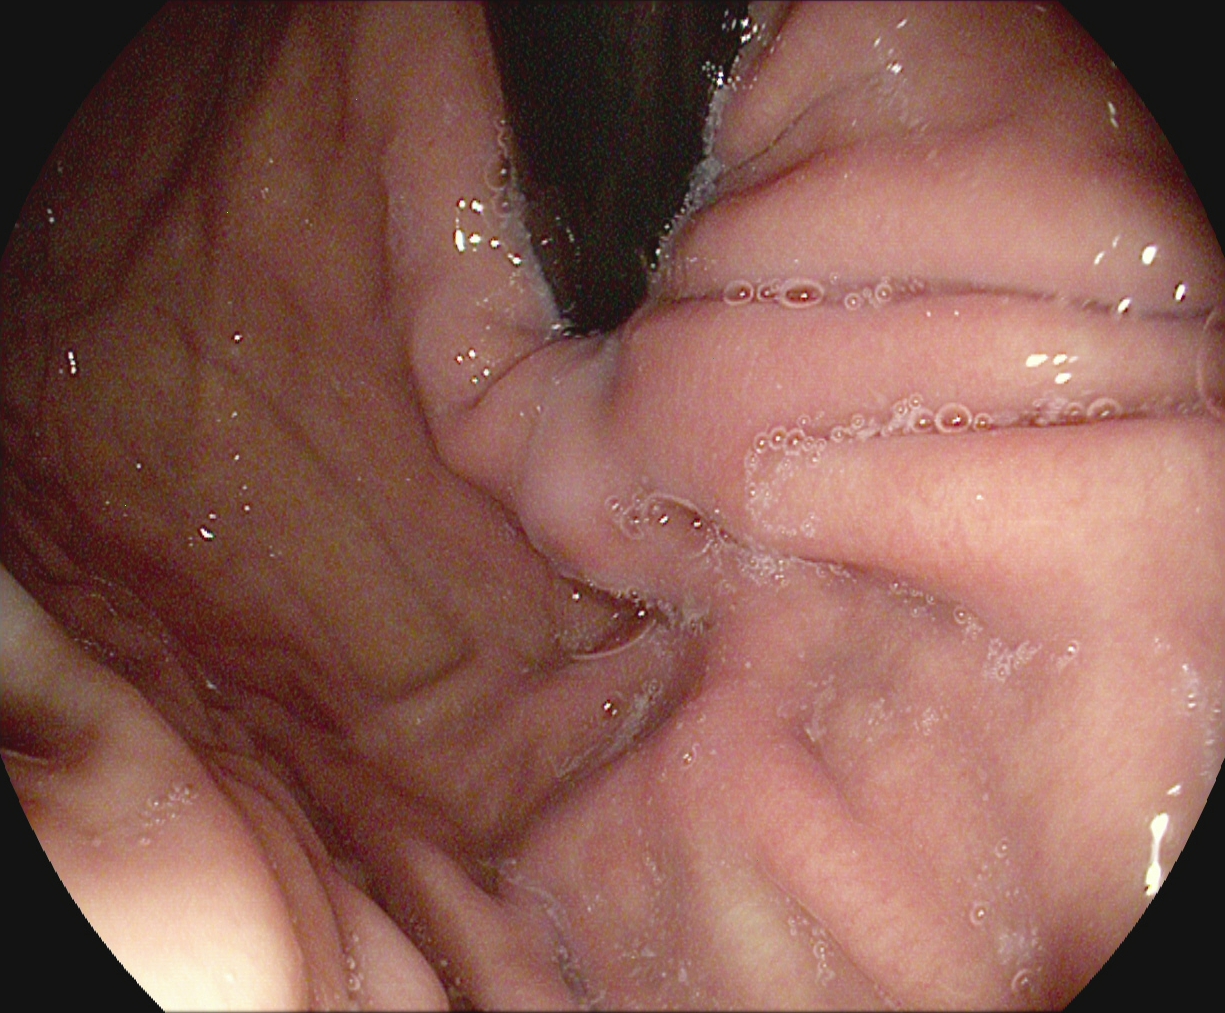Gastroscopy image showing stomach in retroflexion.